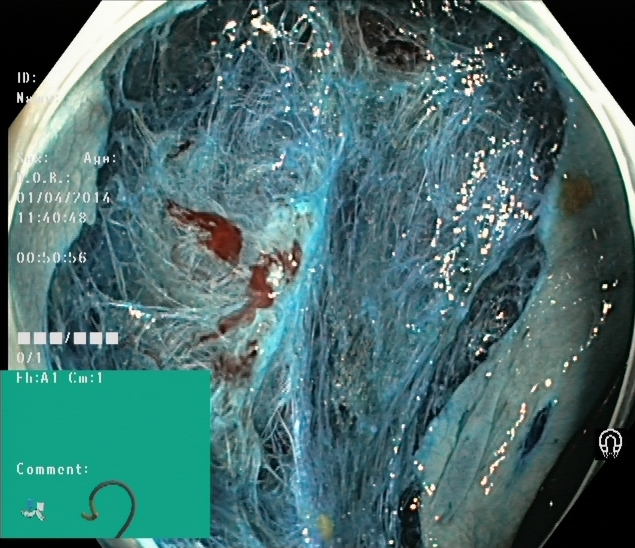This endoscopy frame of the lower GI tract shows dyed resection margins (post-polypectomy).